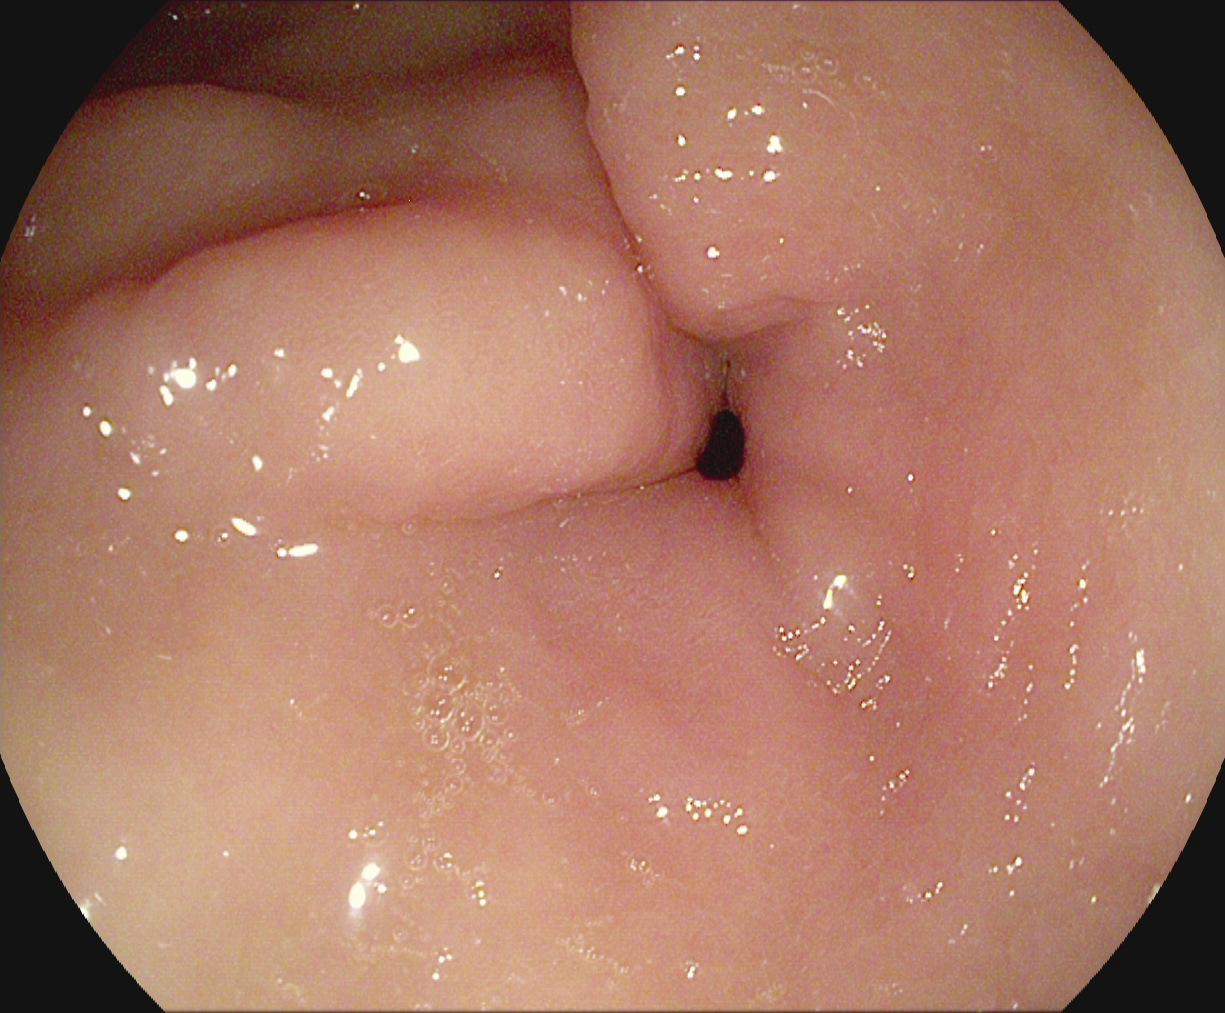Pylorus.